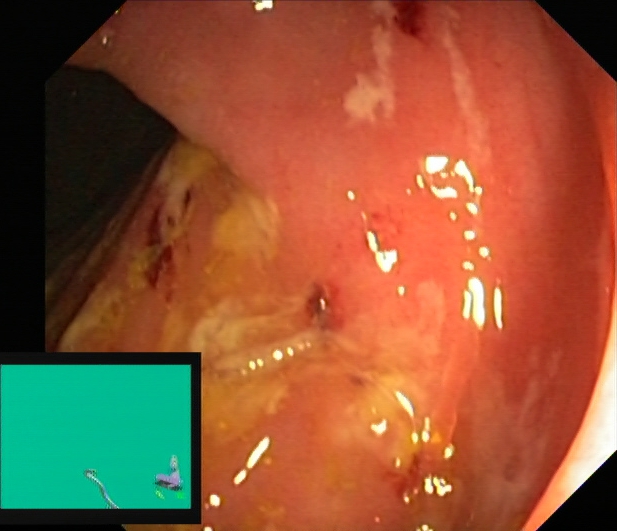Endoscopic image showing ulcerative colitis, Mayo endoscopic subscore 2.